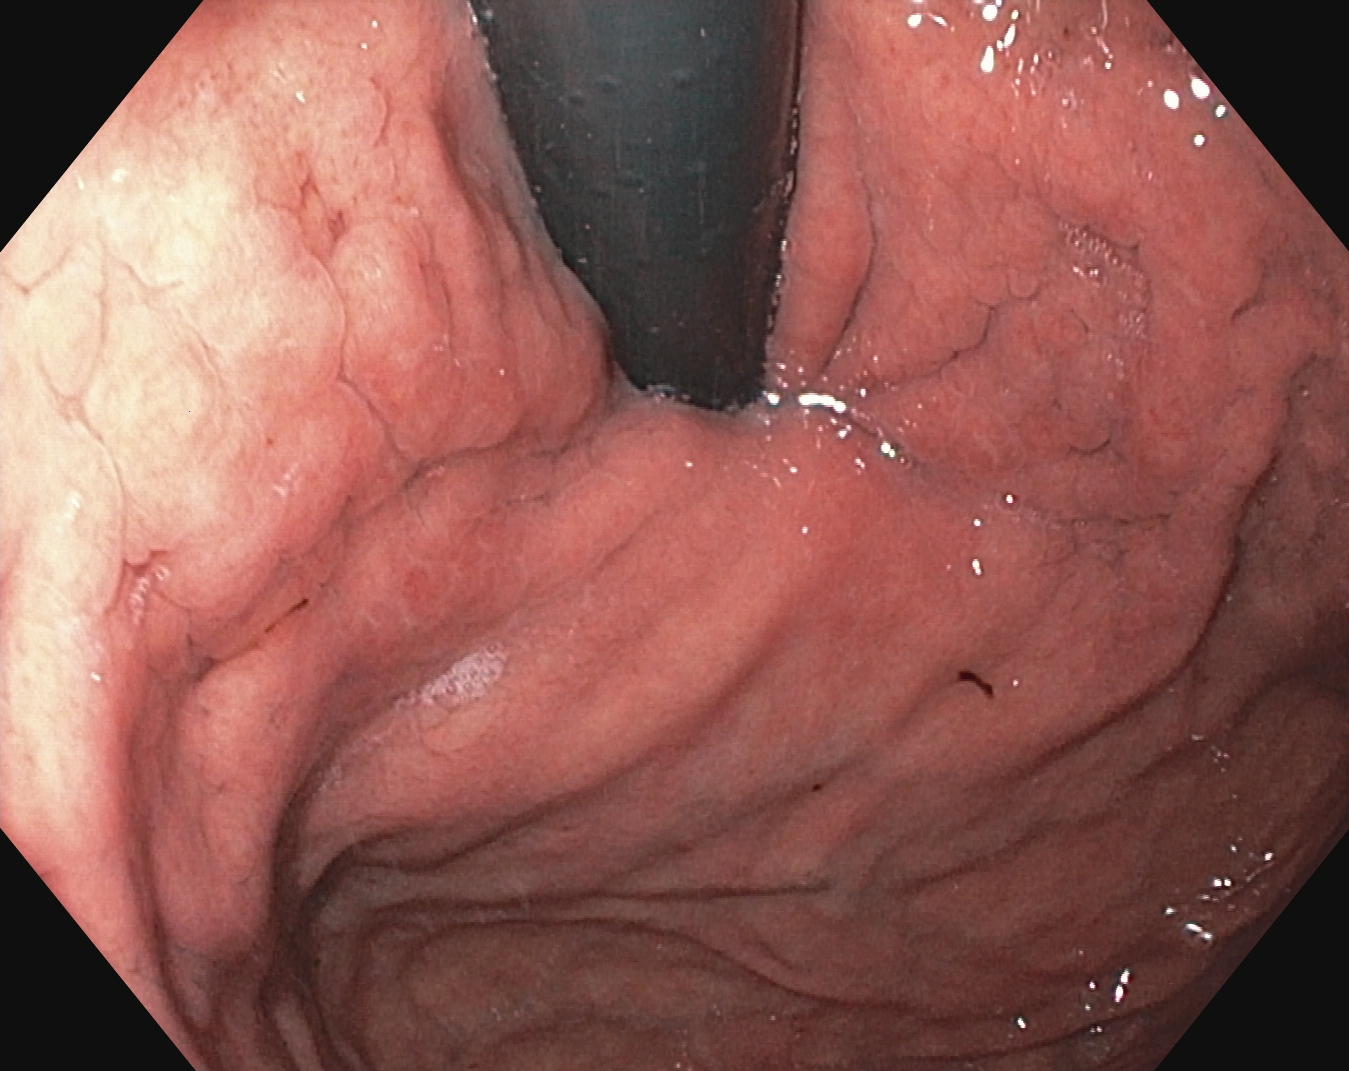Stomach in retroflexion.